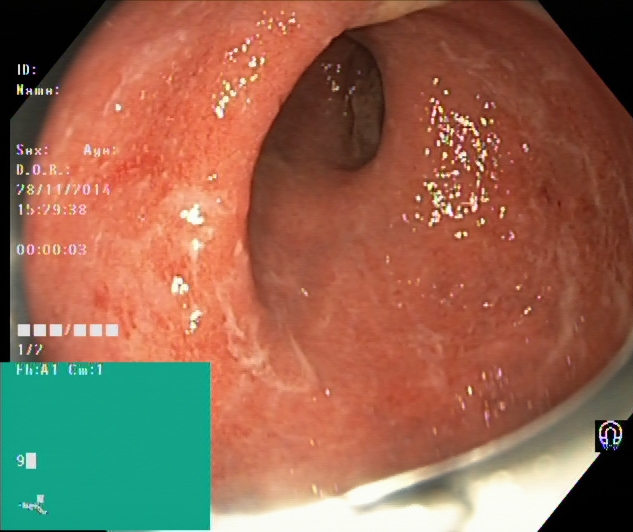UC, Mayo endoscopic subscore 2.